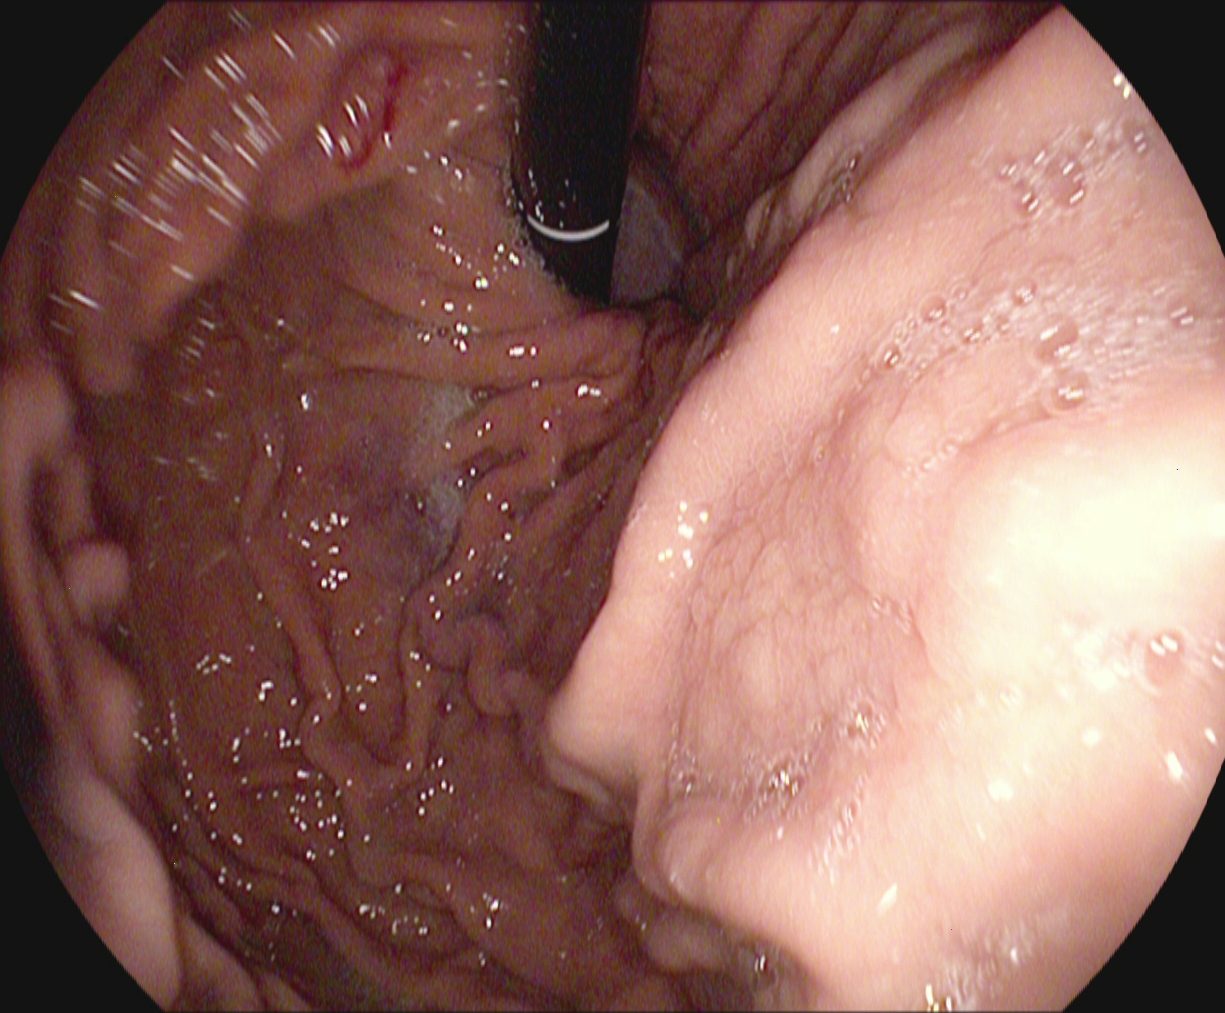{"modality": "gastroscopy", "finding": "stomach in retroflexion"}